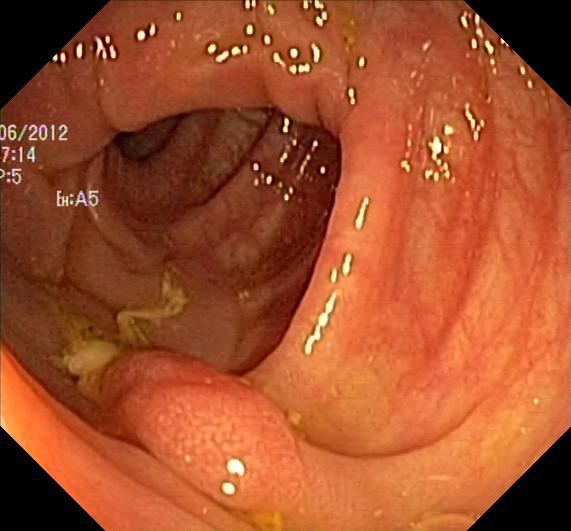PROCEDURE: Colonoscopy.
FINDINGS: Colorectal polyp(s).